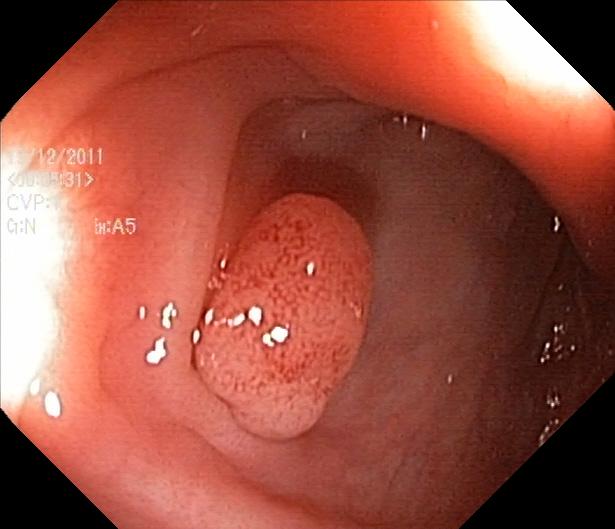Lower-GI endoscopy — colorectal polyp(s).